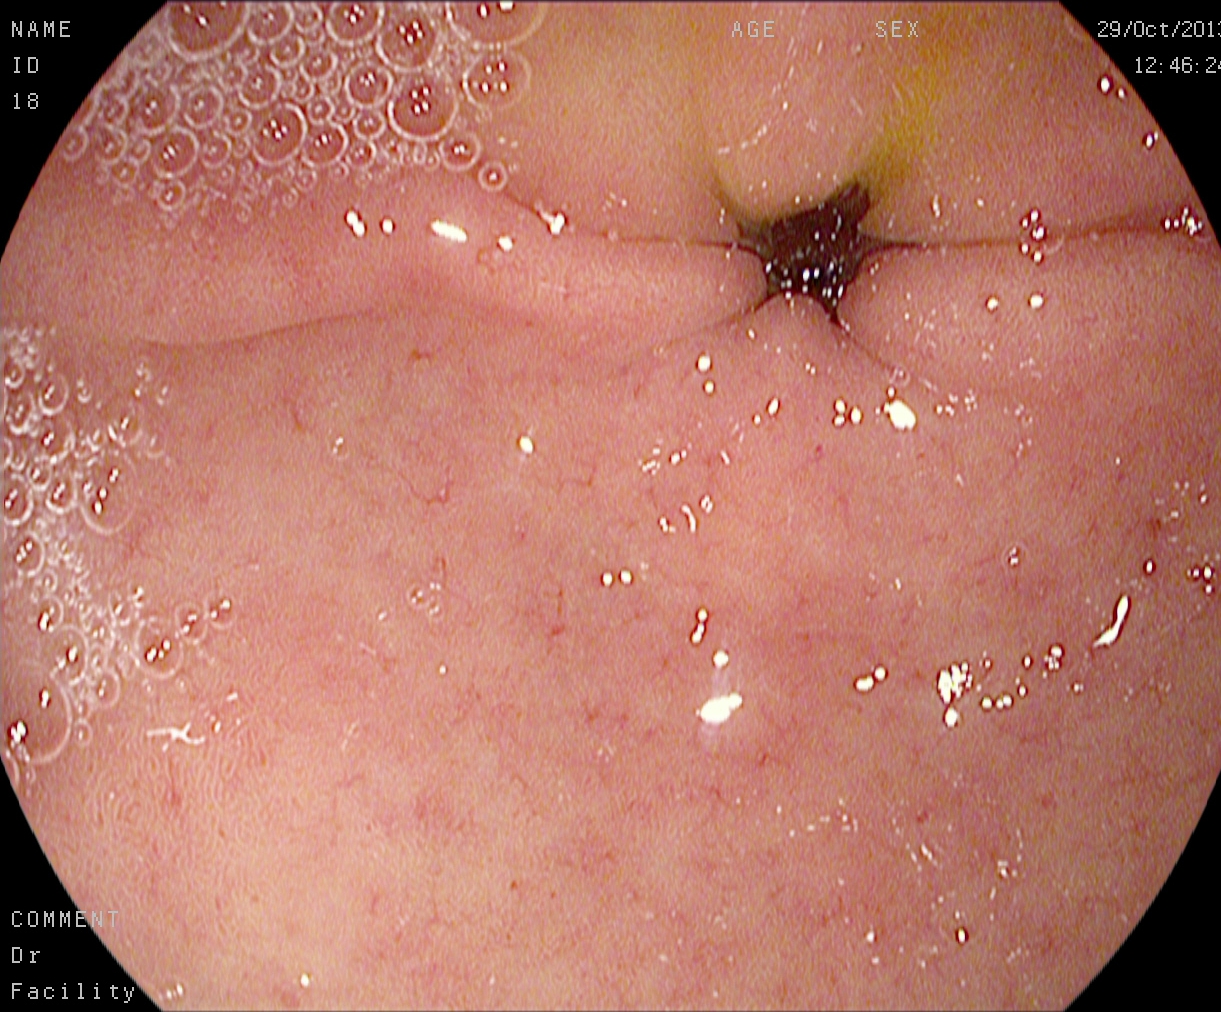modality: EGD
tract: upper GI tract
finding: pylorus